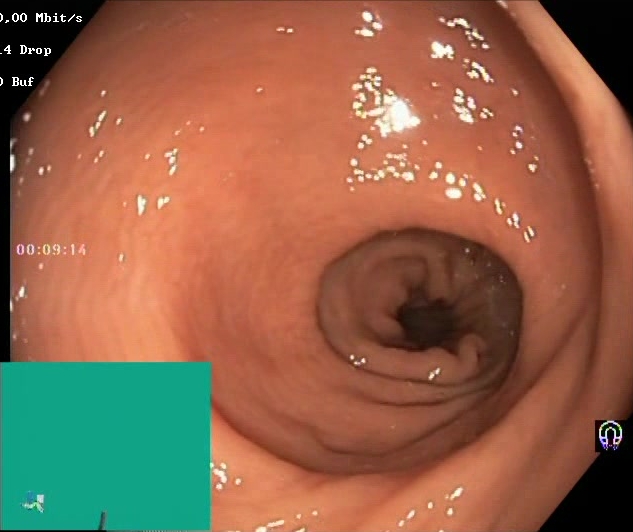modality: lower-GI endoscopy | tract: lower GI tract | finding: Boston Bowel Preparation Scale score 2–3 (adequate preparation)